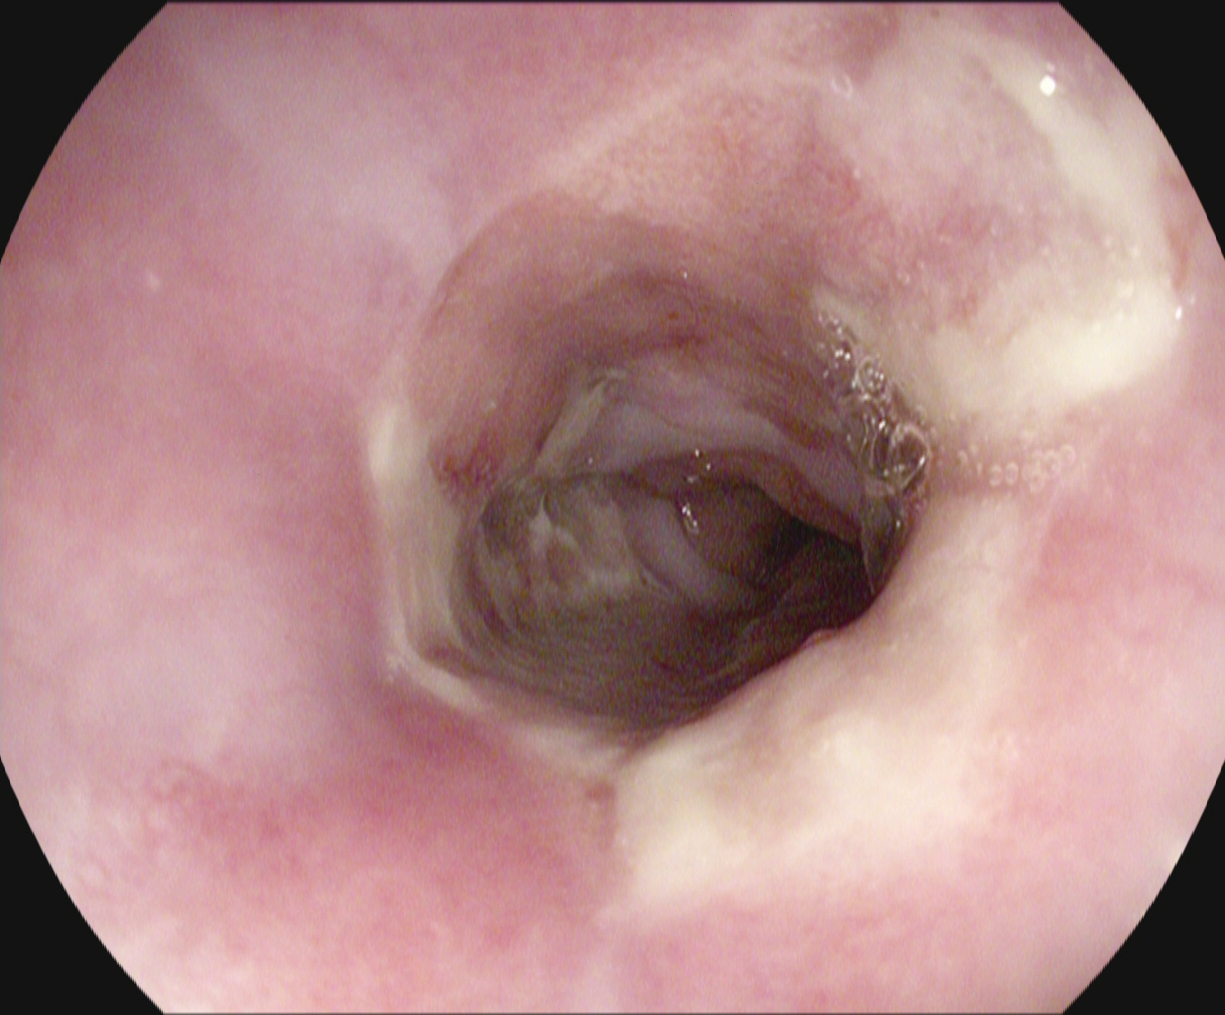{"modality": "esophagogastroduodenoscopy", "category": "pathological finding", "finding": "reflux esophagitis, Los Angeles grade B\u2013D"}